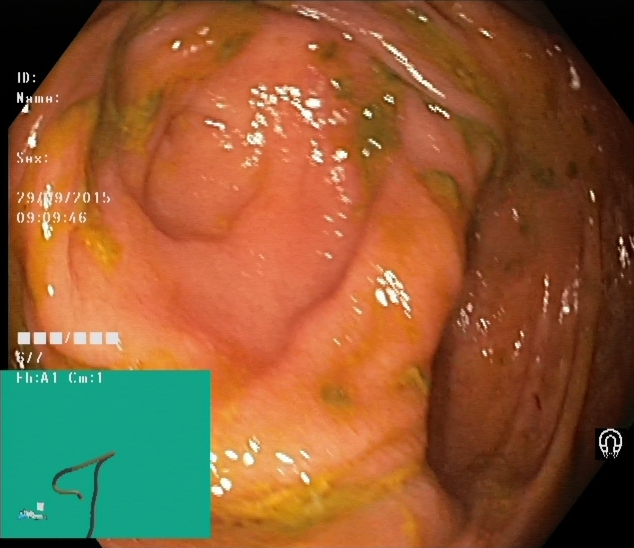modality: lower-GI endoscopy | category: anatomical landmark | finding: cecum